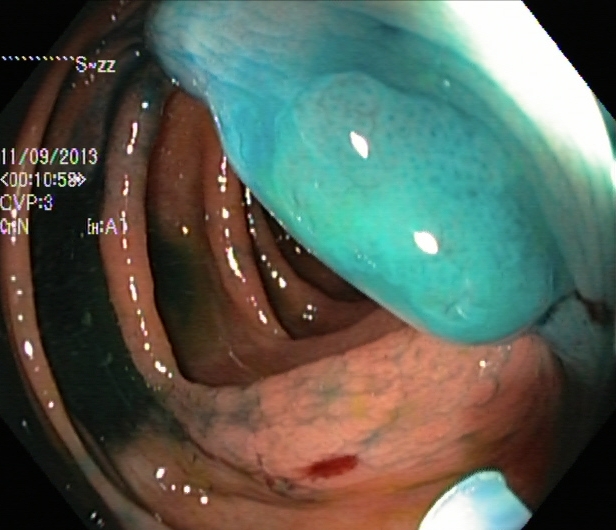PROCEDURE: Lower gastrointestinal endoscopy.
FINDINGS: Dyed and lifted polyp (pre-resection).